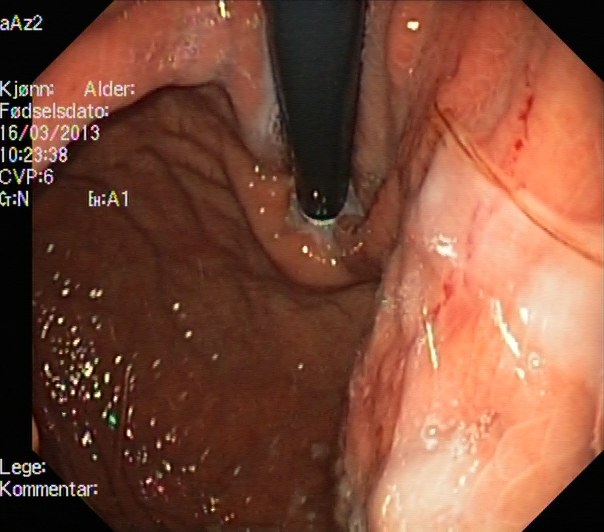Stomach in retroflexion.